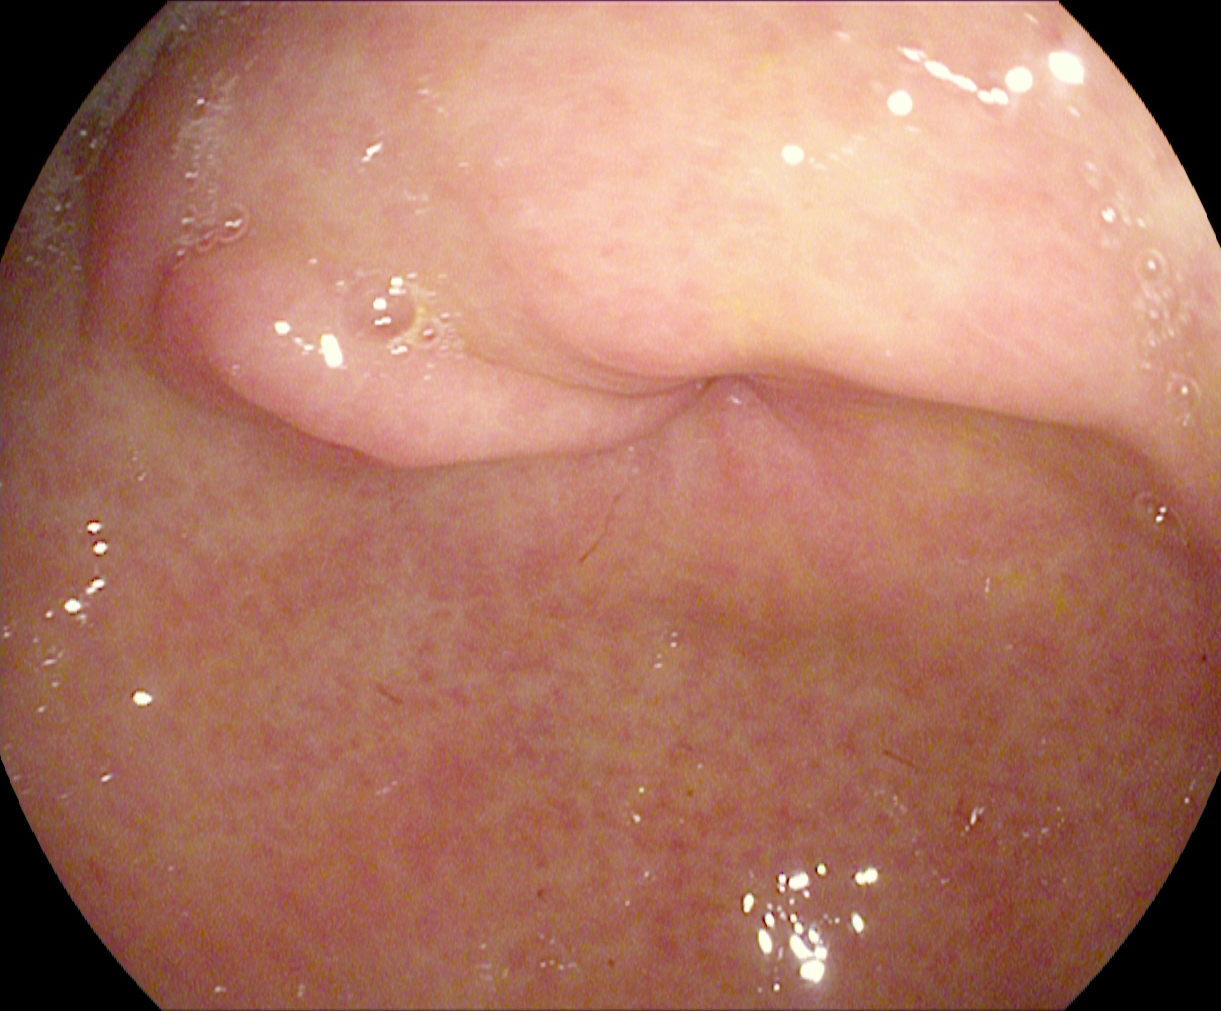Upper-GI endoscopy. Finding: pylorus.